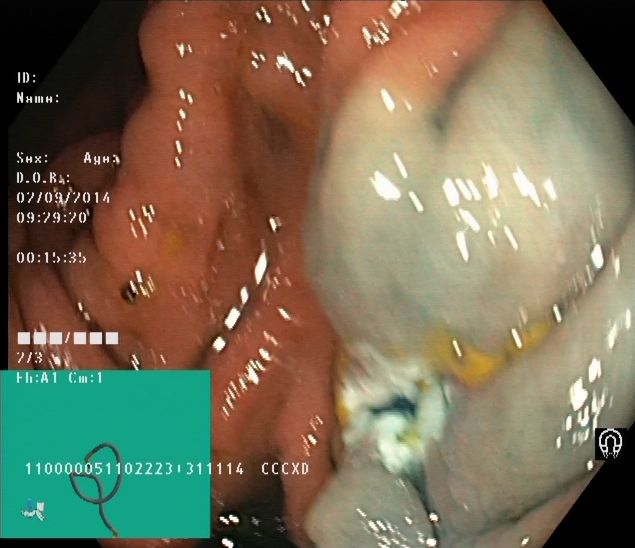{"modality": "colonoscopy", "tract": "lower GI tract", "finding": "dyed resection margins (post-polypectomy)"}